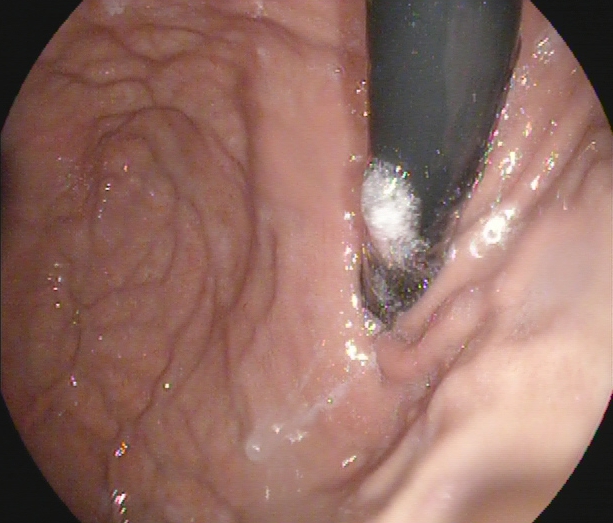This endoscopic image of the upper GI tract shows stomach in retroflexion.